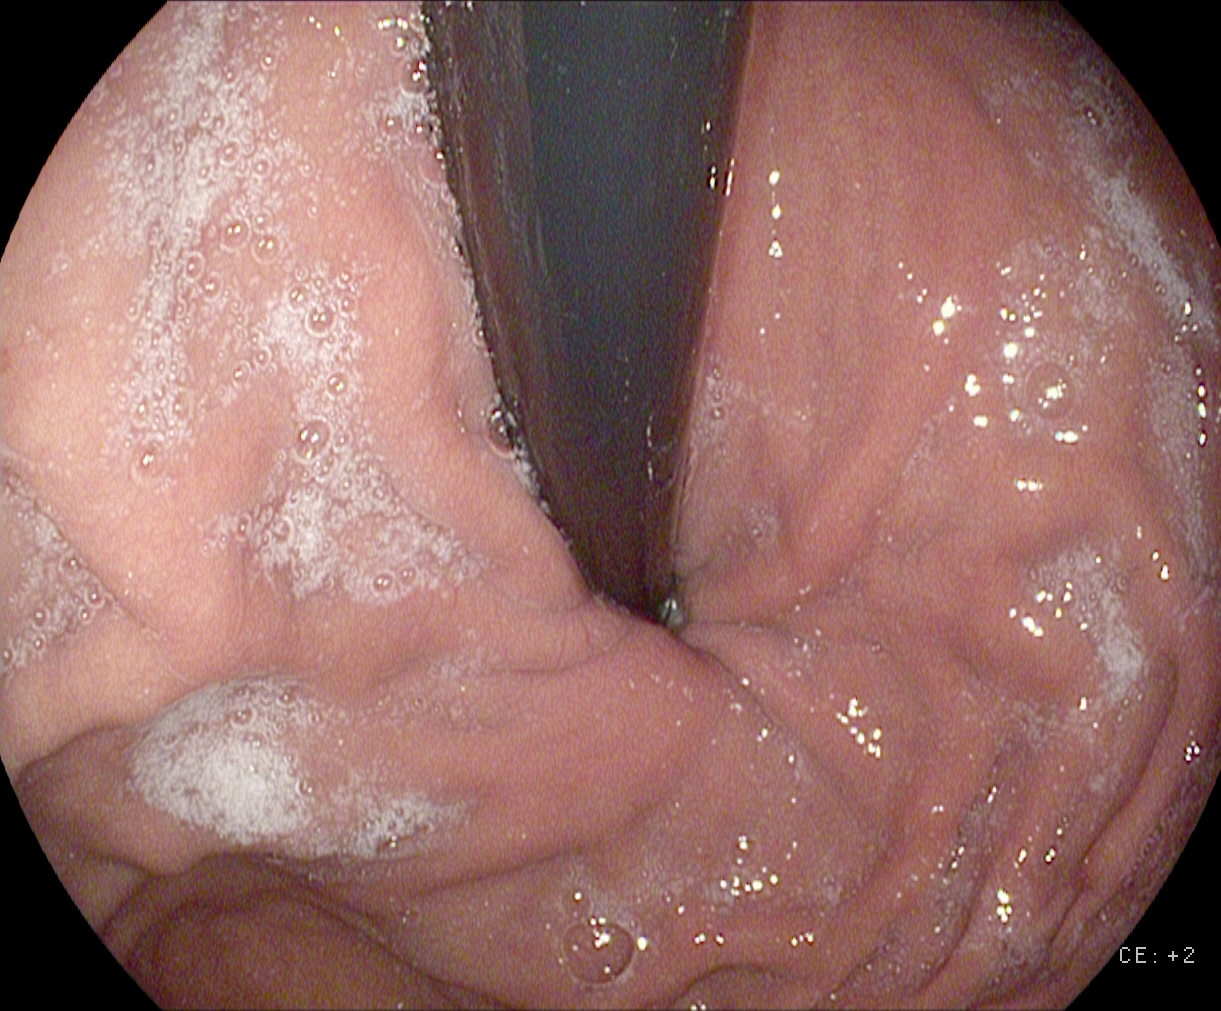GI endoscopy image of the upper GI tract showing stomach in retroflexion.